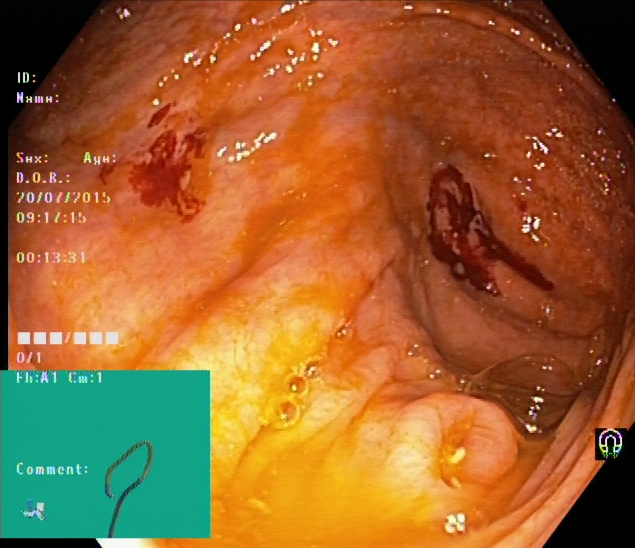Lower gastrointestinal endoscopy. Tract: lower GI tract. Anatomical landmark. Finding: cecum.